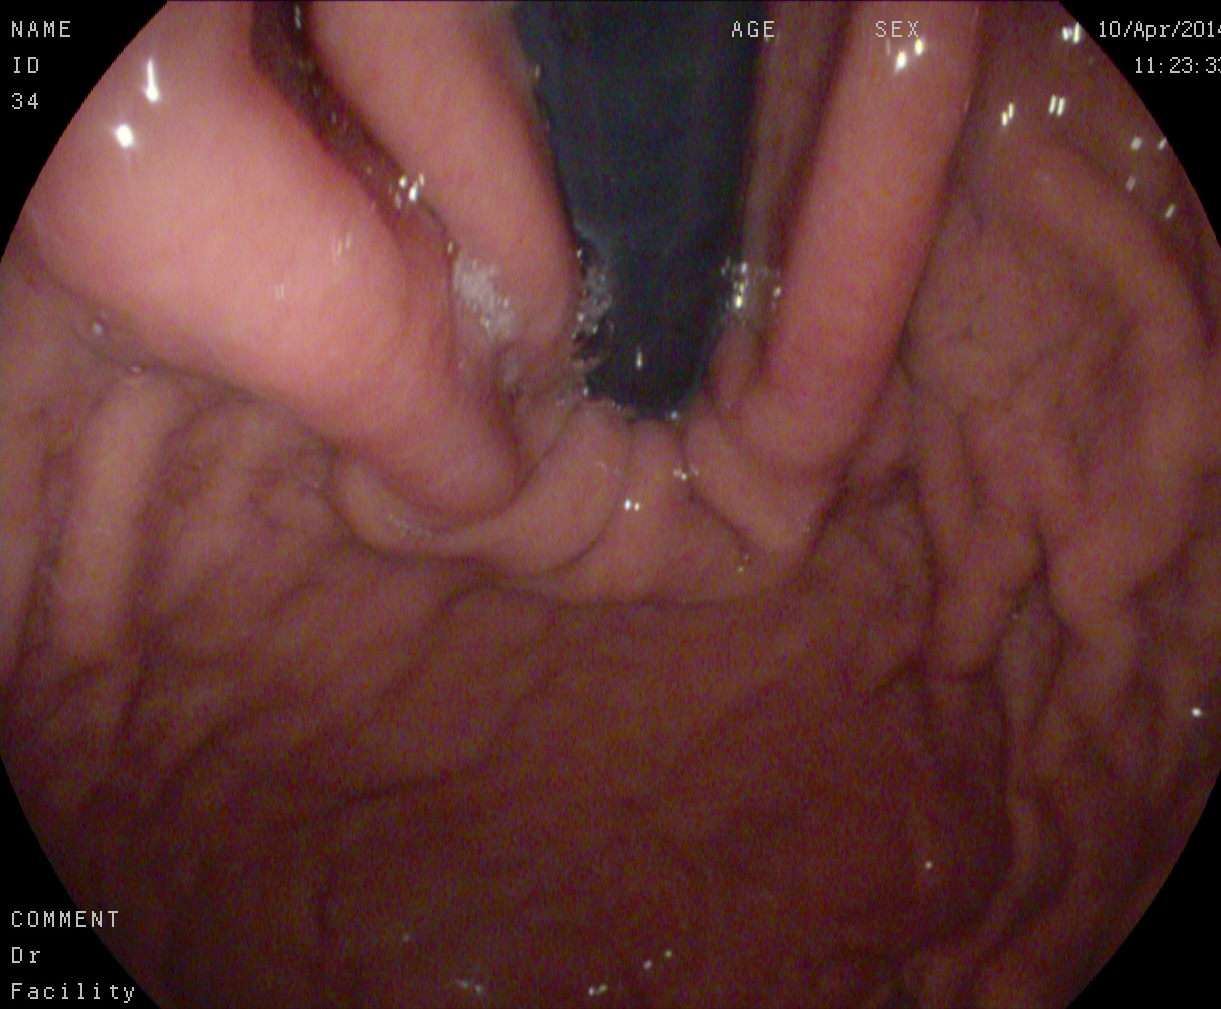Gastroscopy — stomach in retroflexion.